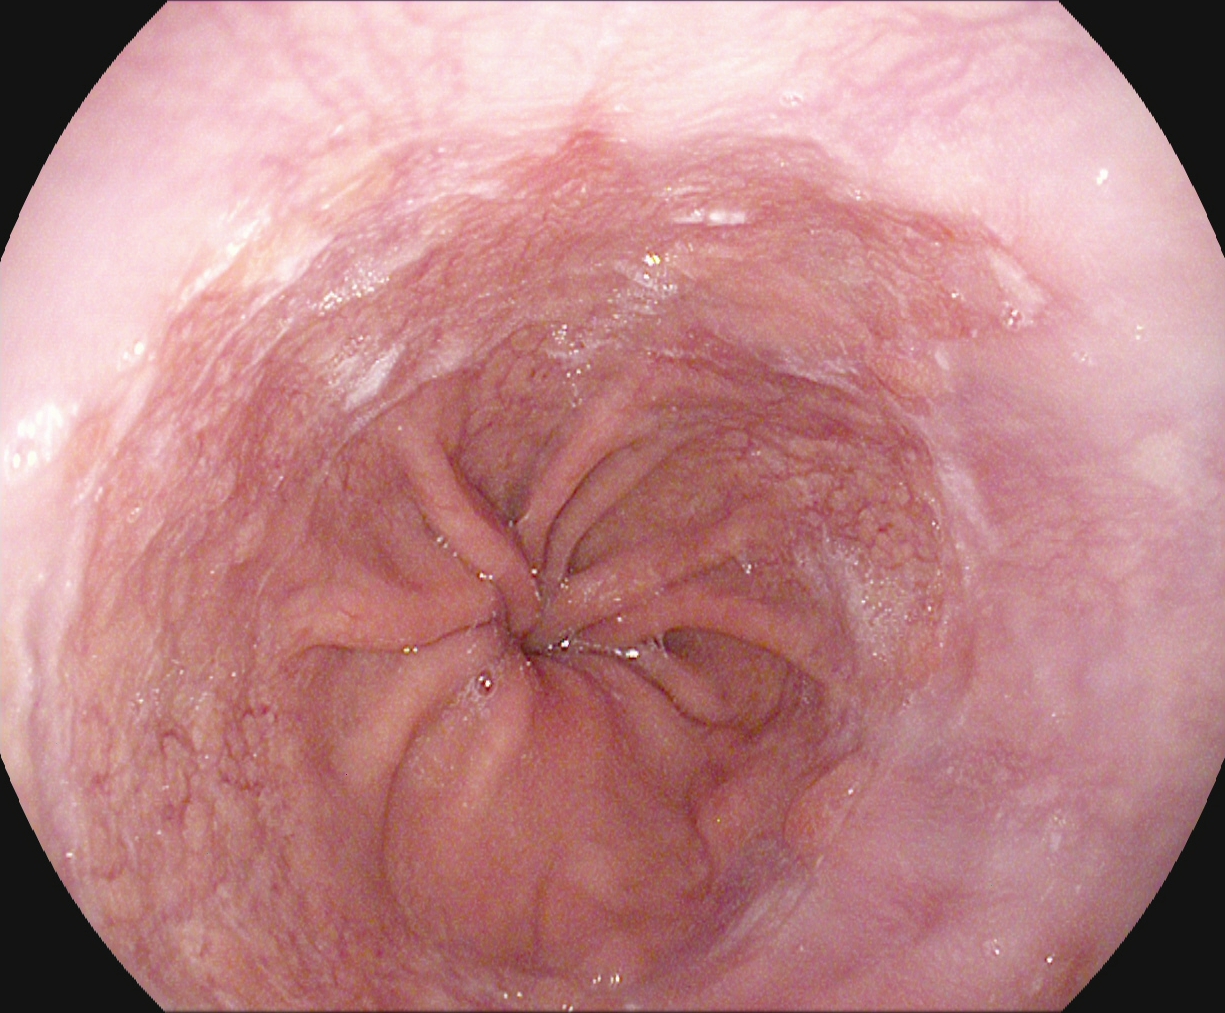{"modality": "gastroscopy", "finding": "reflux esophagitis, Los Angeles grade A"}